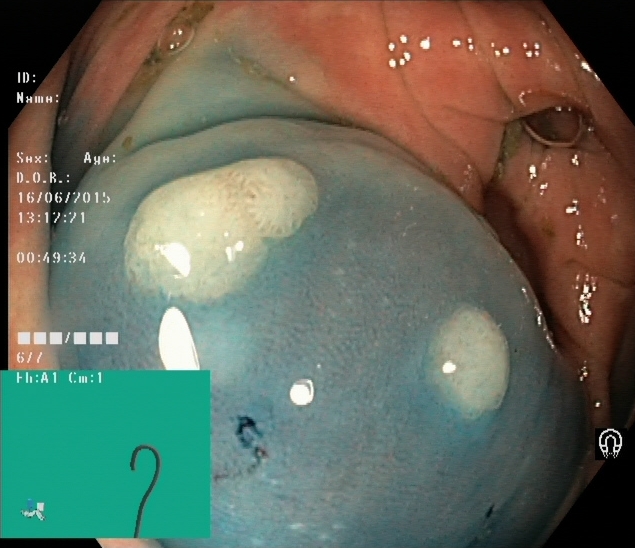Dyed and lifted polyp (pre-resection).